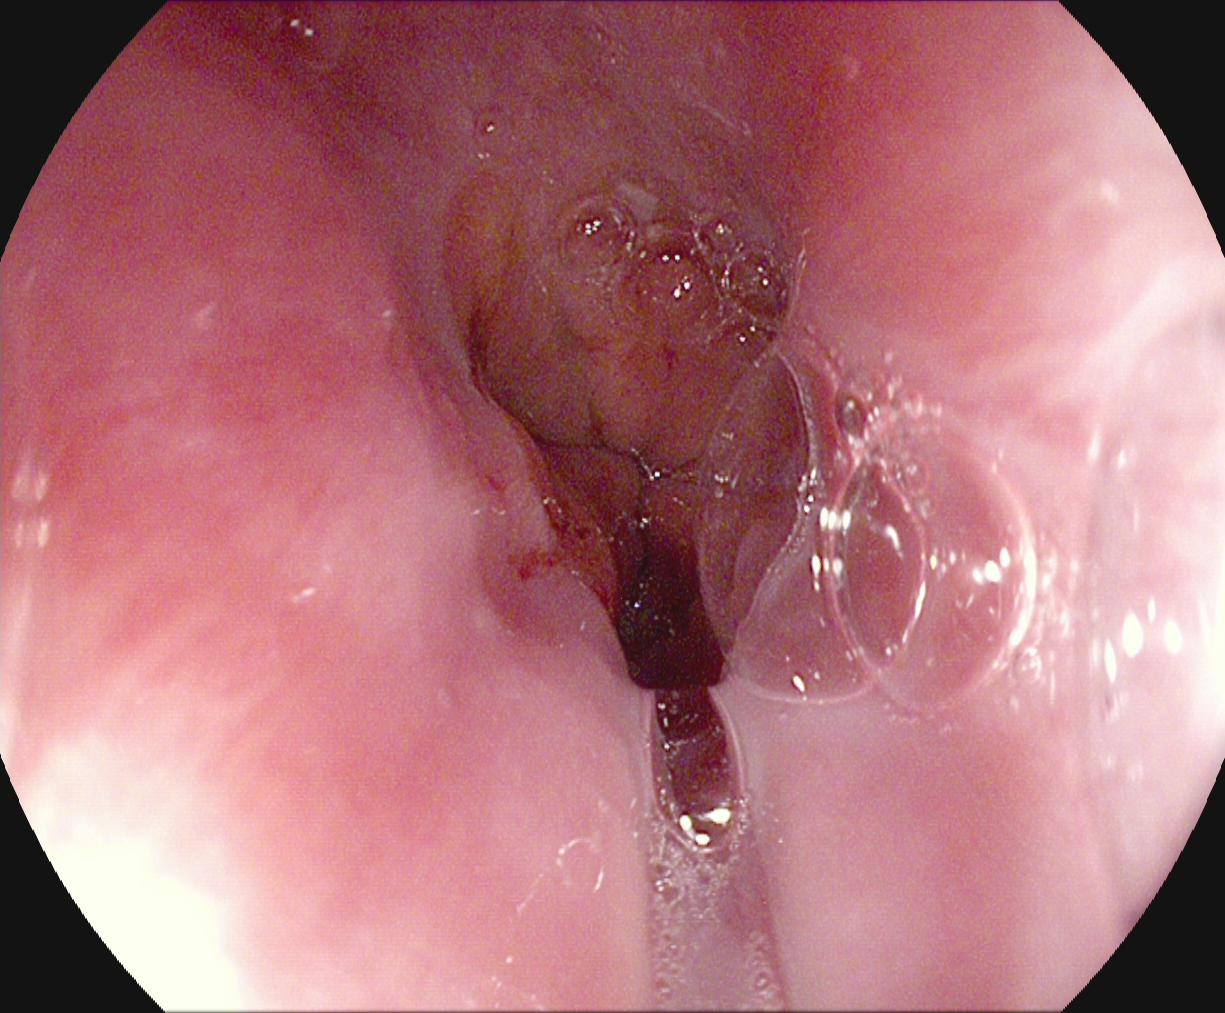Esophagogastroduodenoscopy — reflux esophagitis, LA grade A.